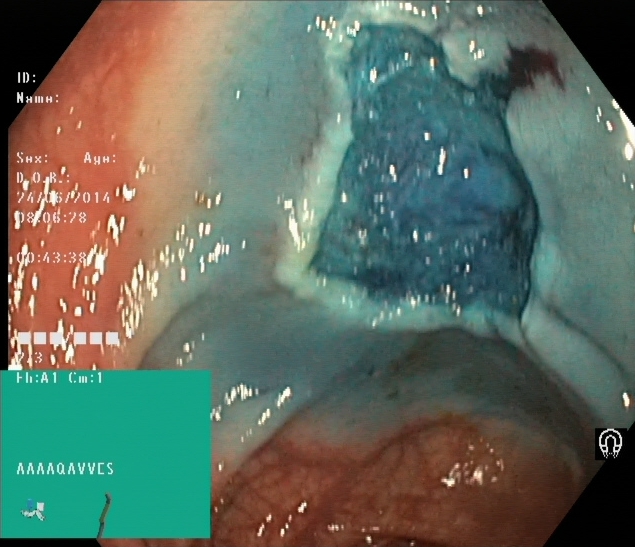This endoscopic image of the lower GI tract shows dyed resection margins (post-polypectomy).